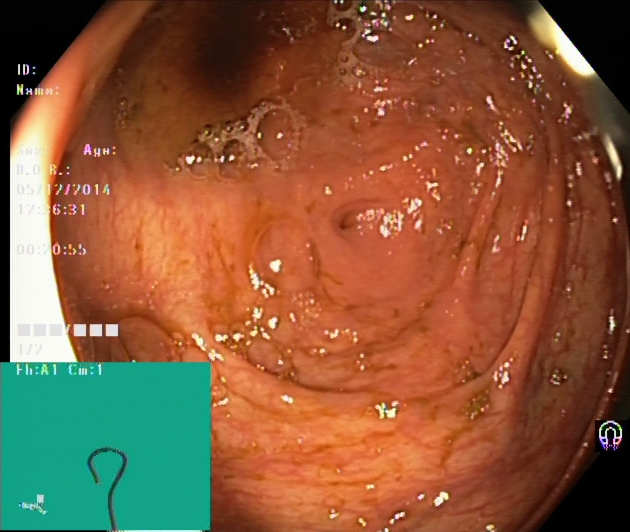modality: colonoscopy; category: anatomical landmark; finding: cecum